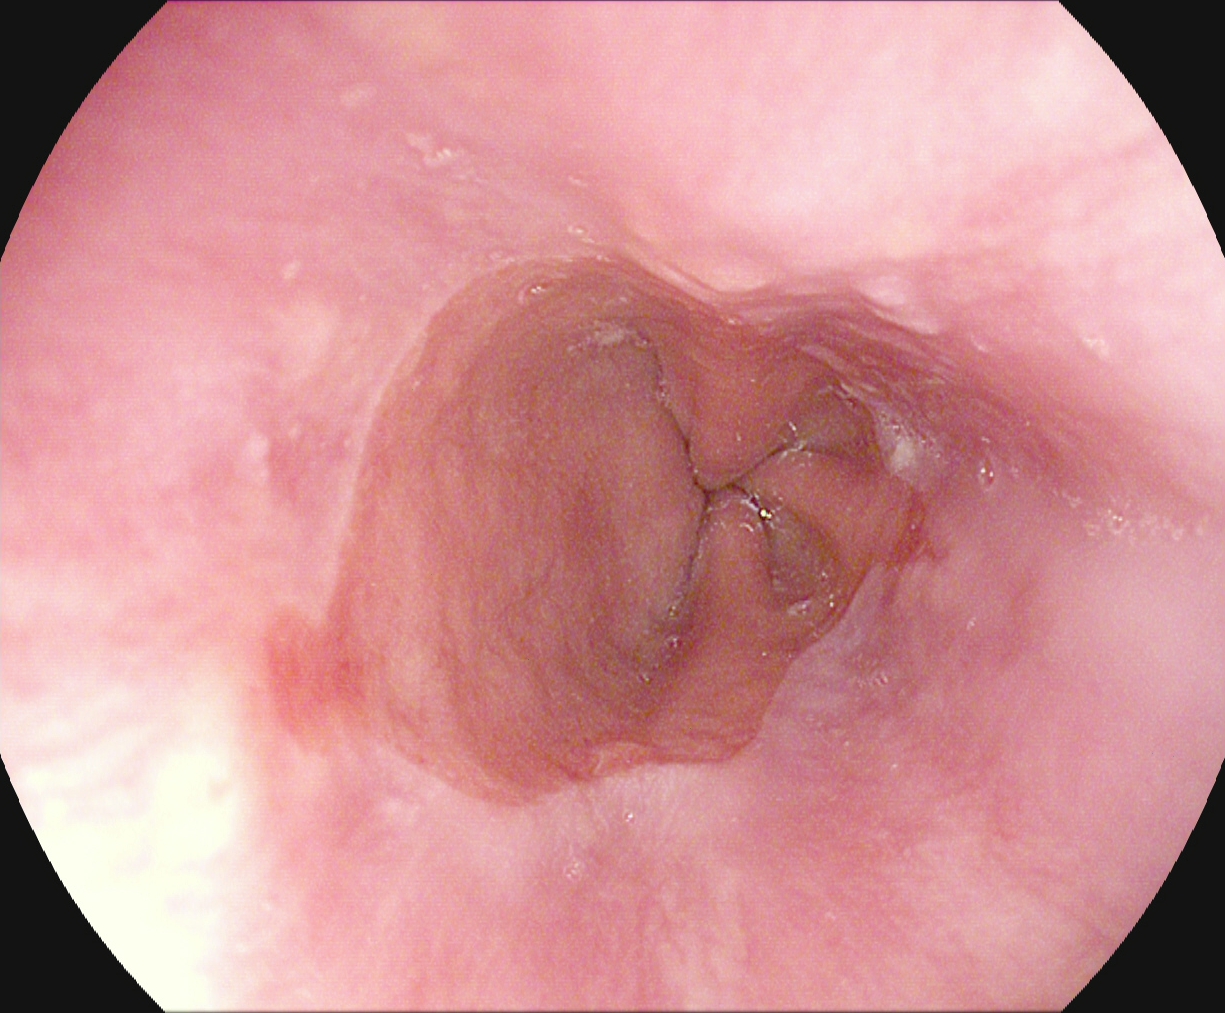modality: upper-GI endoscopy
finding: reflux esophagitis, LA grade A